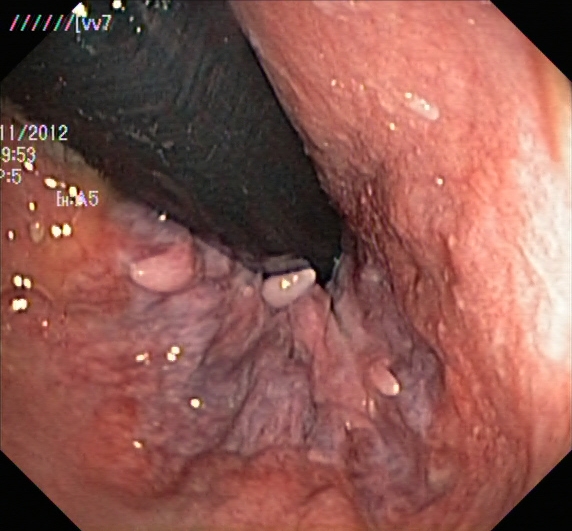Rectum in retroflexion.